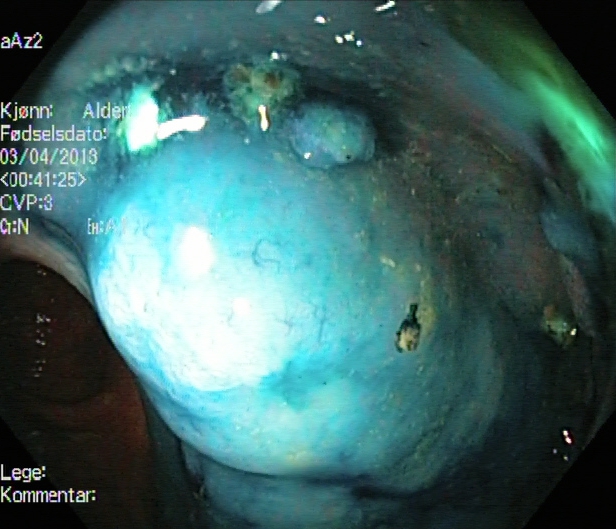This endoscopy frame shows dyed and lifted polyp (pre-resection).